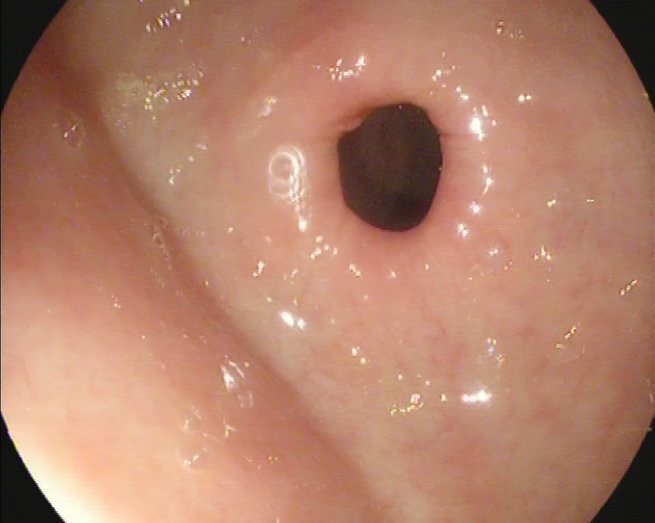PROCEDURE: EGD.
FINDINGS: Pylorus.